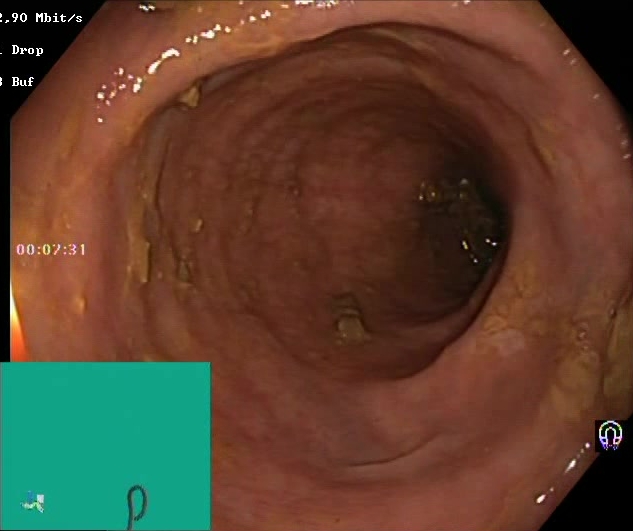Colonoscopy. Tract: lower GI tract. Mucosal-view quality. Finding: Boston Bowel Preparation Scale score 2–3 (adequate preparation).